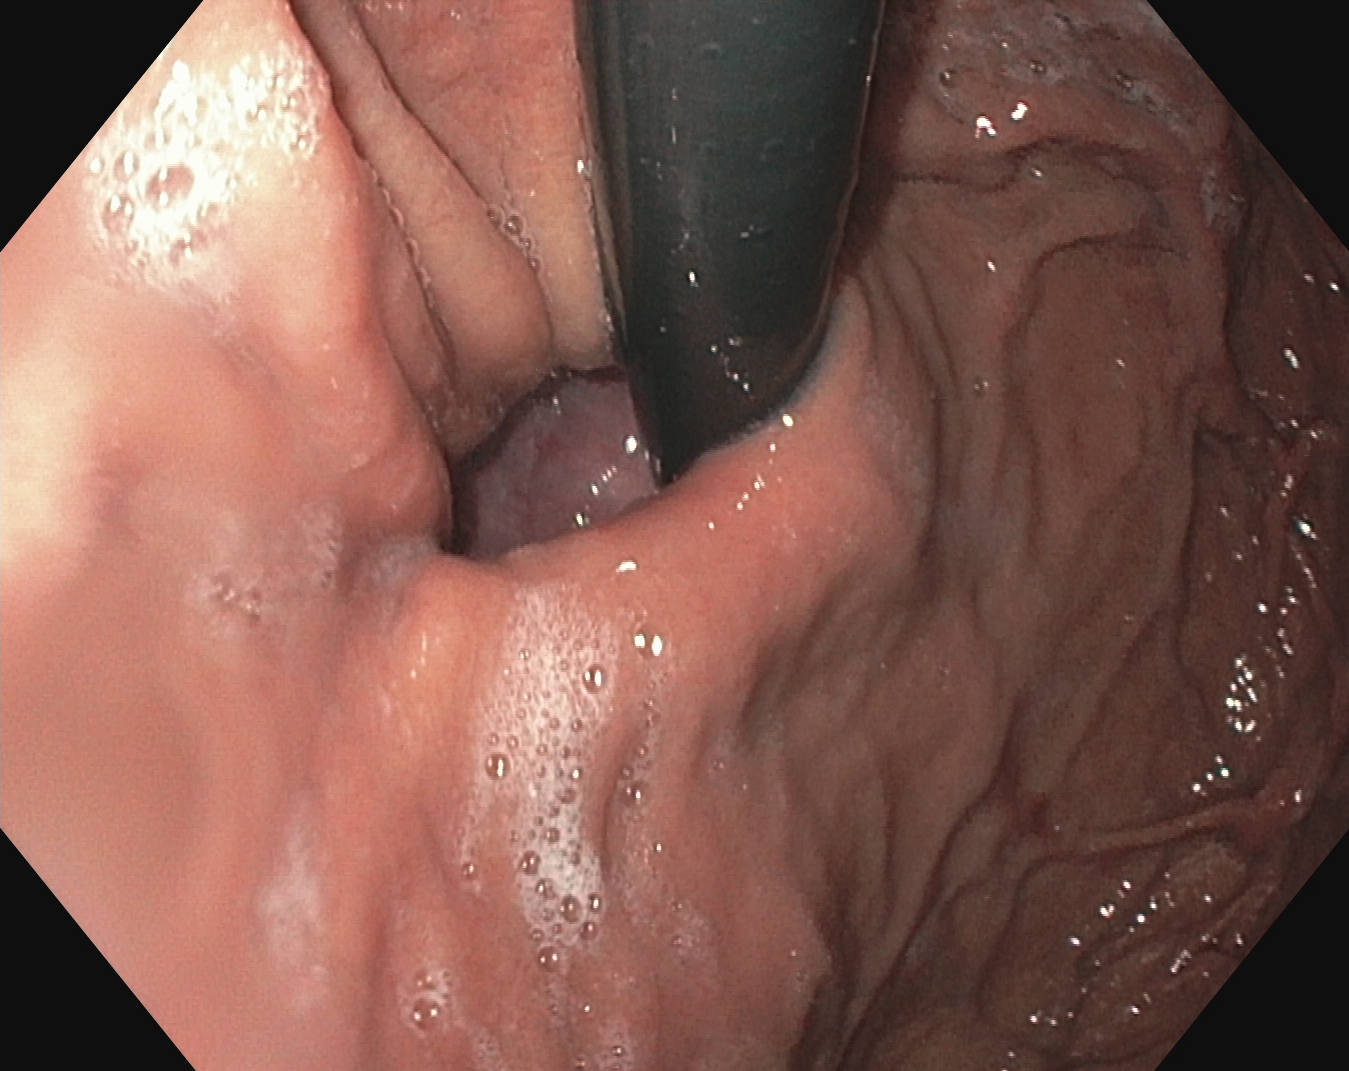Gastroscopy. Finding: stomach in retroflexion.